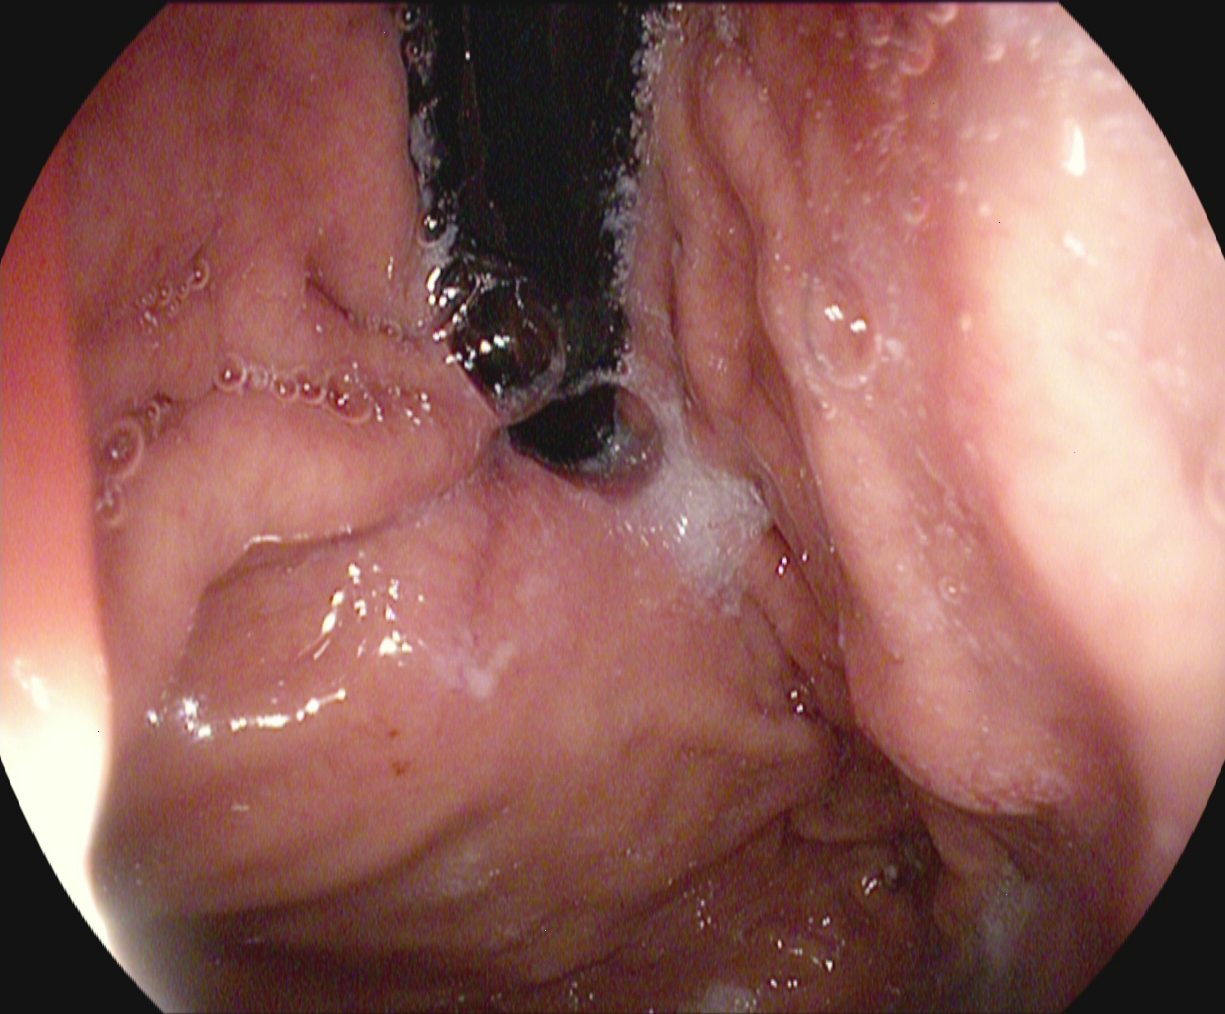Stomach in retroflexion.